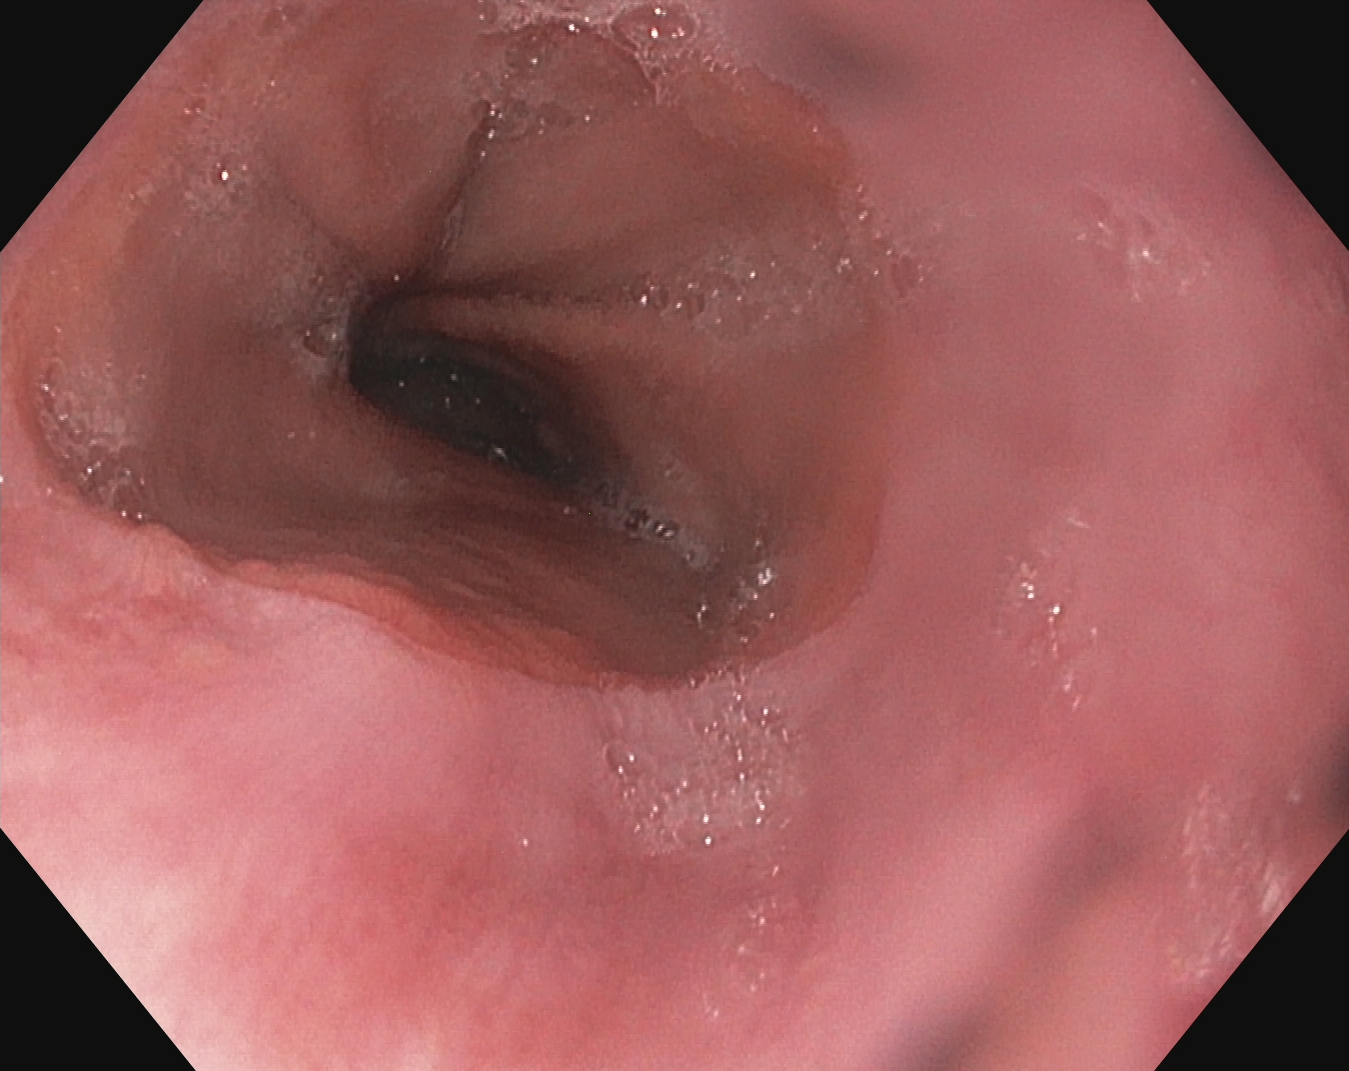PROCEDURE: Upper-GI endoscopy.
CATEGORY: Anatomical landmark.
FINDINGS: Z-line (gastroesophageal junction).